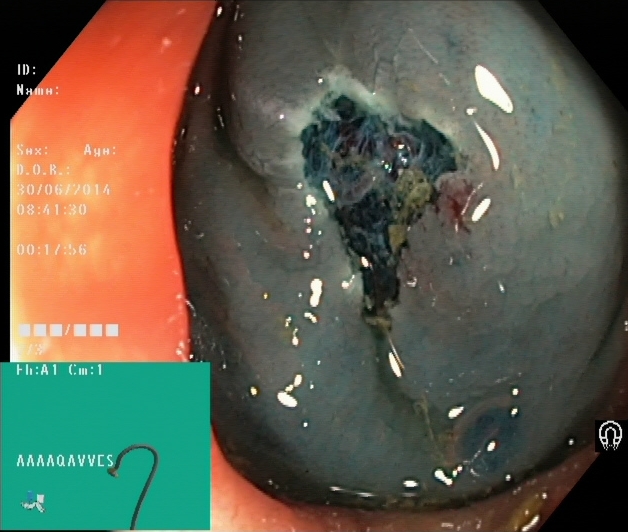Dyed resection margins (post-polypectomy).